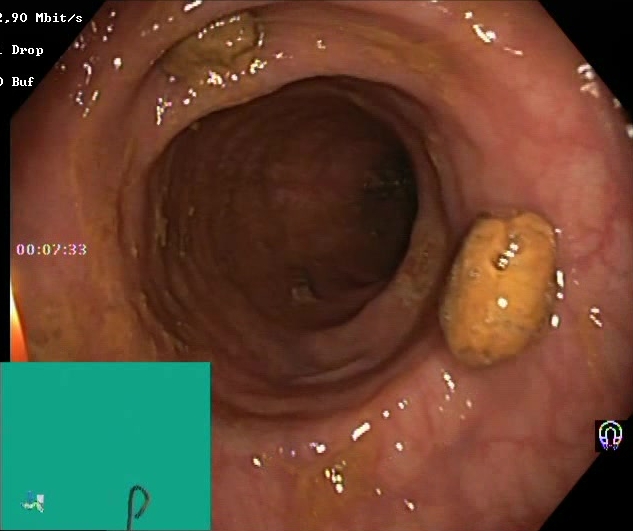This endoscopy frame of the lower GI tract shows impacted stool.